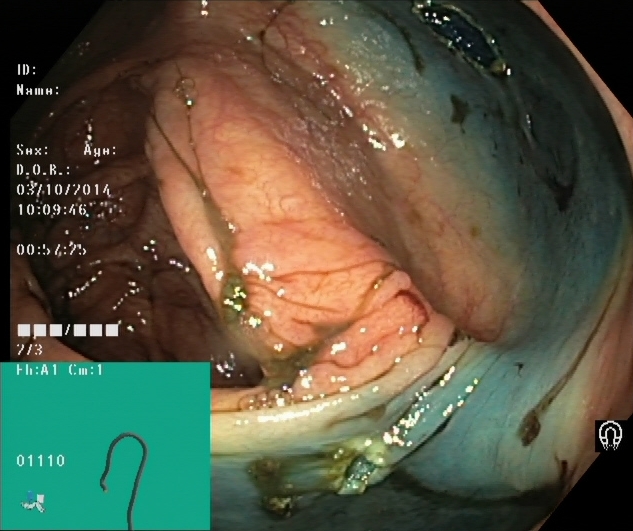Colonoscopy. Tract: lower GI tract. Finding: dyed resection margins (post-polypectomy).